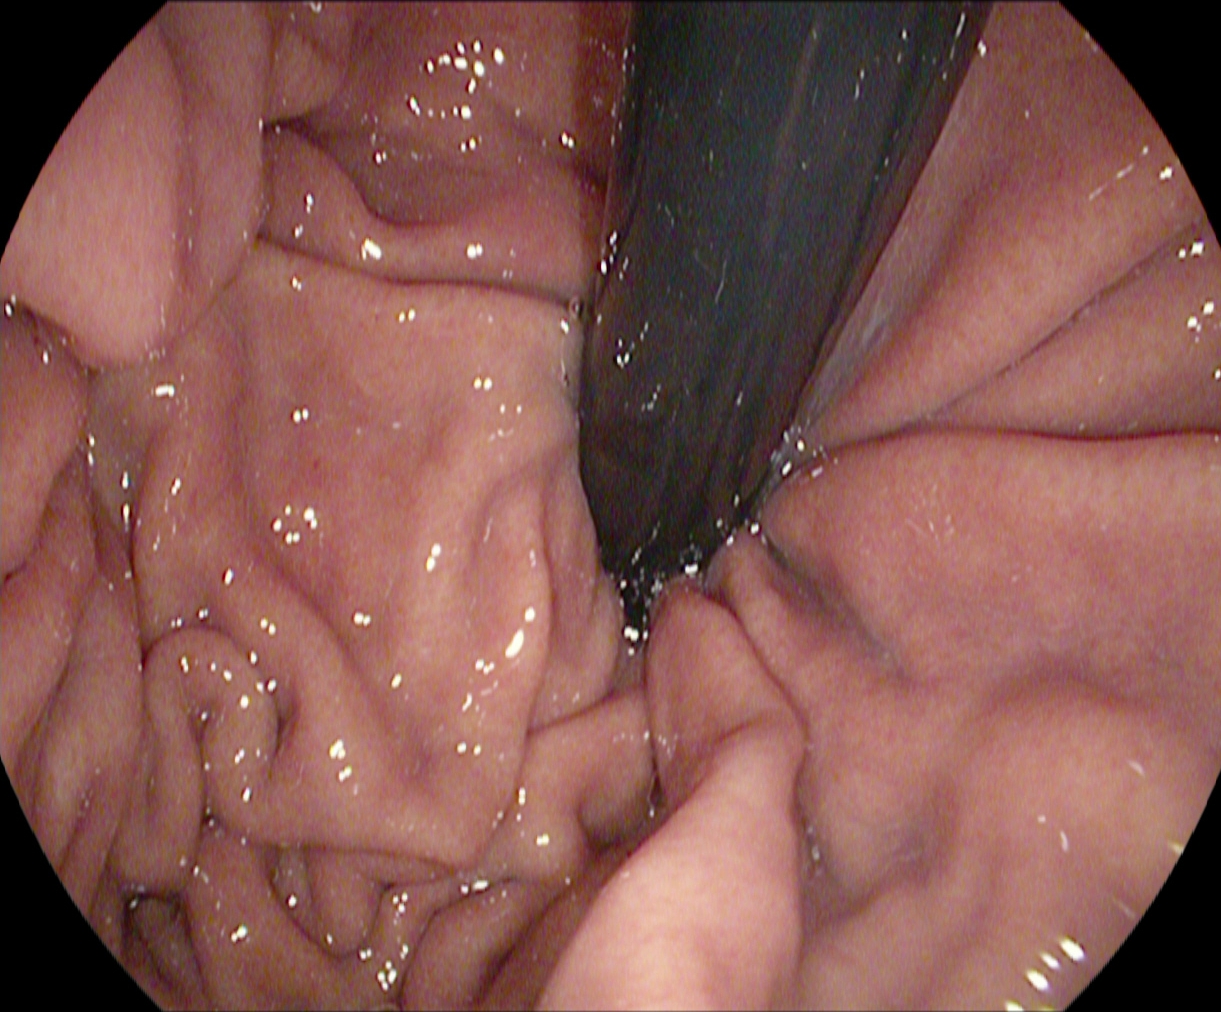modality: EGD | category: anatomical landmark | finding: stomach in retroflexion